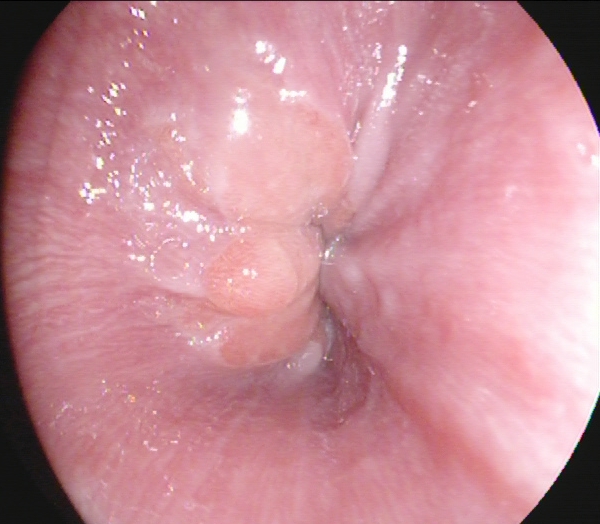Upper-GI endoscopy. Anatomical landmark. Finding: Z-line (gastroesophageal junction).